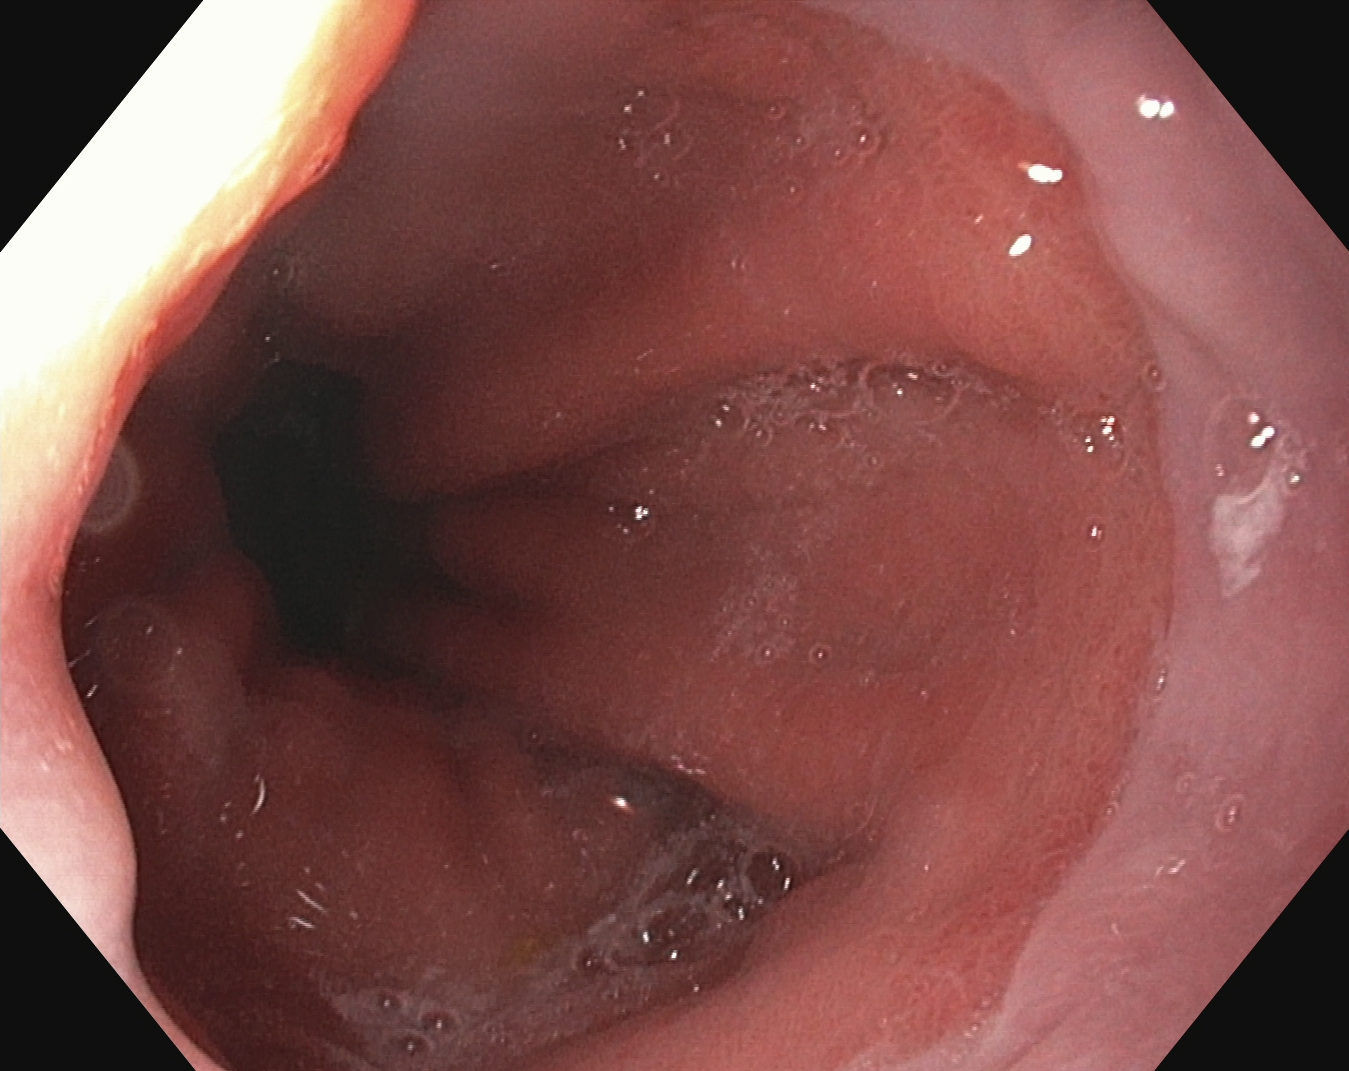{"modality": "upper-GI endoscopy", "tract": "upper GI tract", "category": "anatomical landmark", "finding": "Z-line (gastroesophageal junction)"}